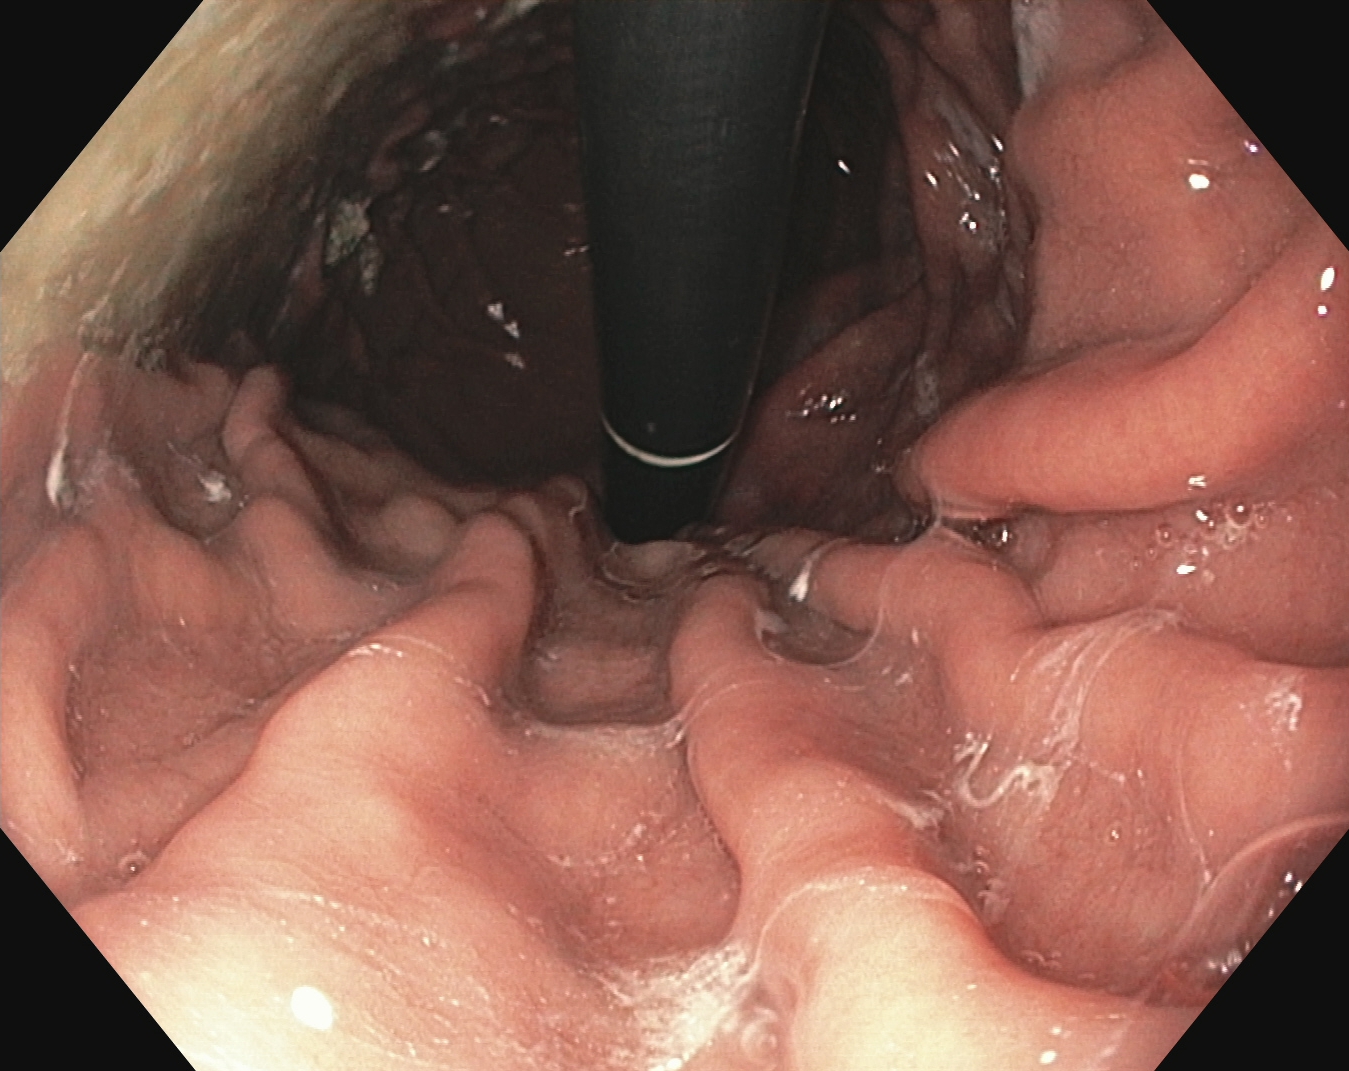Stomach in retroflexion.